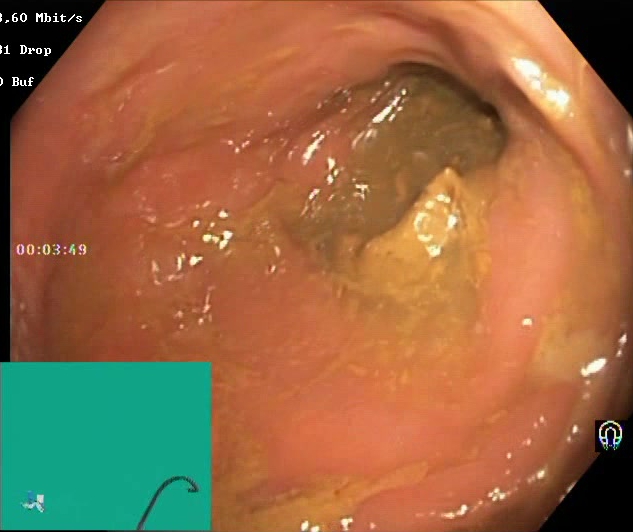PROCEDURE: Lower gastrointestinal endoscopy.
CATEGORY: Mucosal-view quality.
FINDINGS: Boston Bowel Preparation Scale score 0–1 (inadequate preparation).